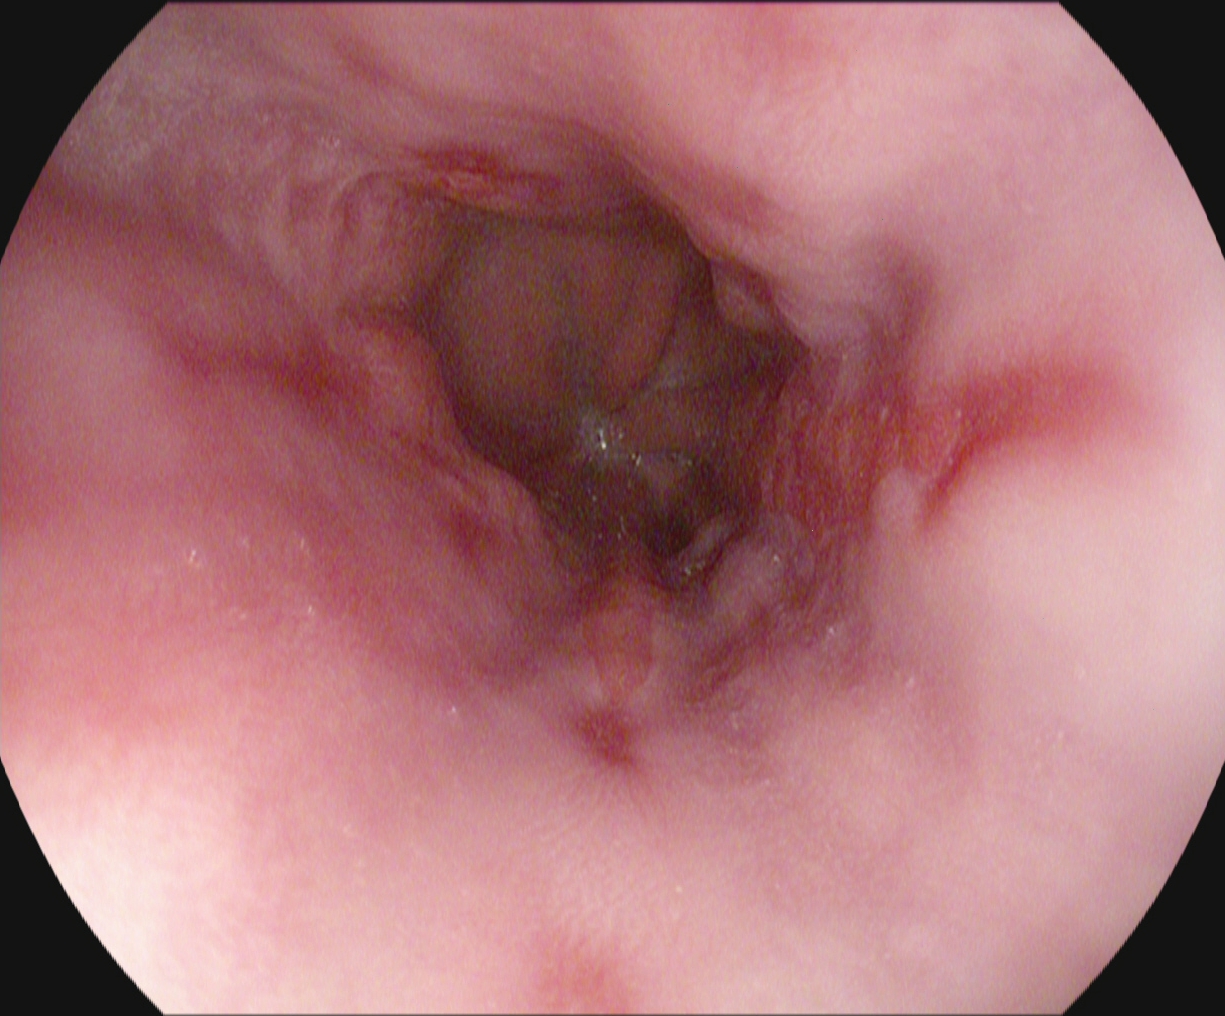Reflux esophagitis, Los Angeles grade B–D.